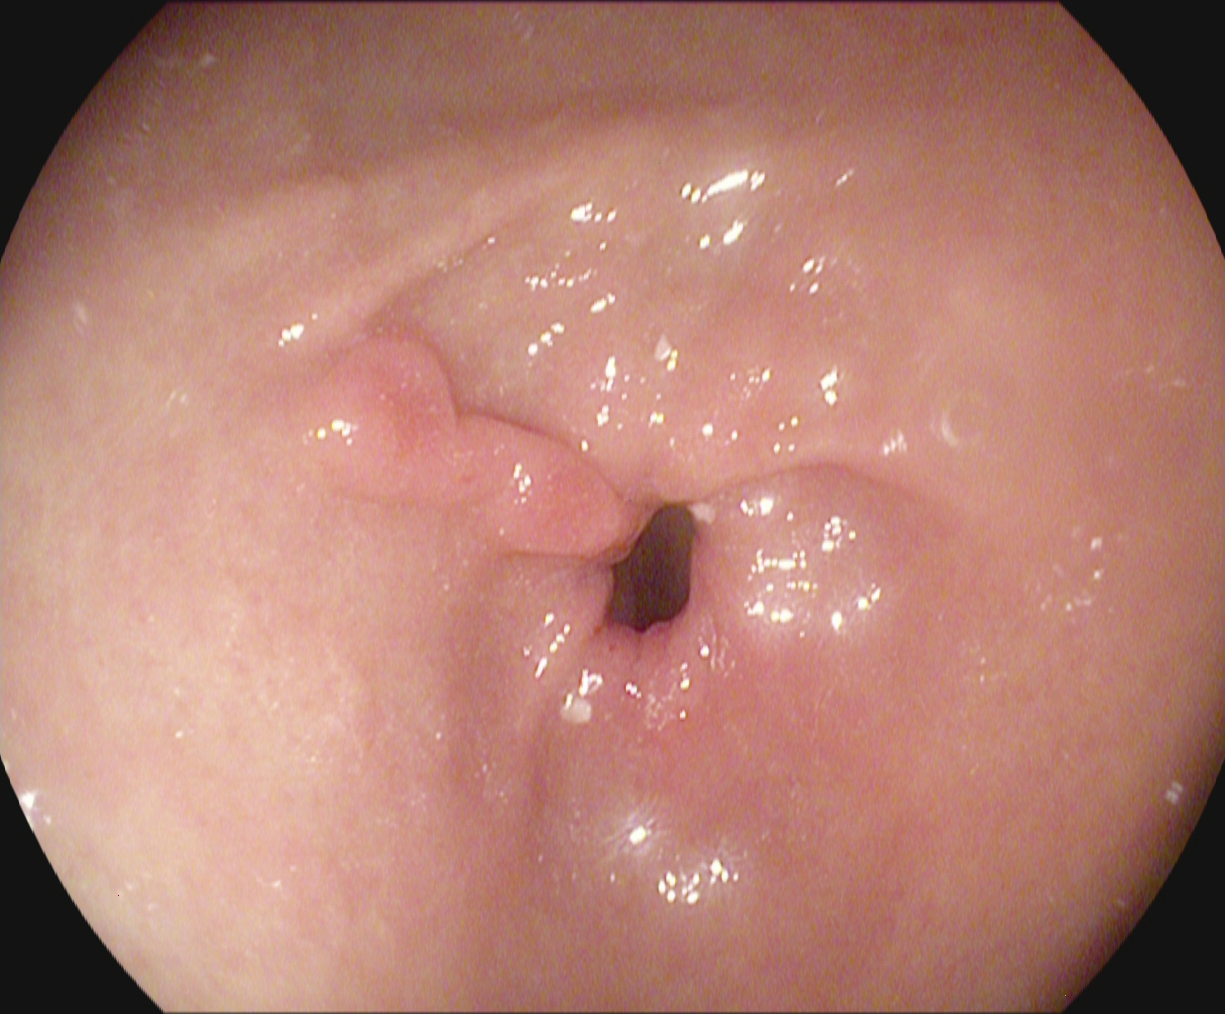modality: upper-GI endoscopy; finding: pylorus